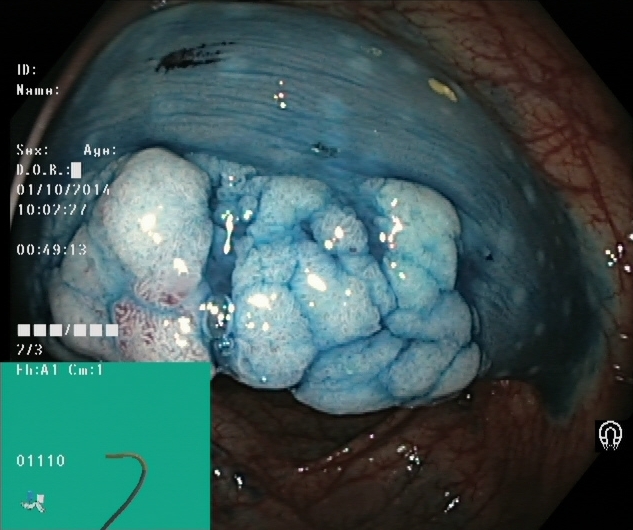This endoscopic image shows dyed and lifted polyp (pre-resection).